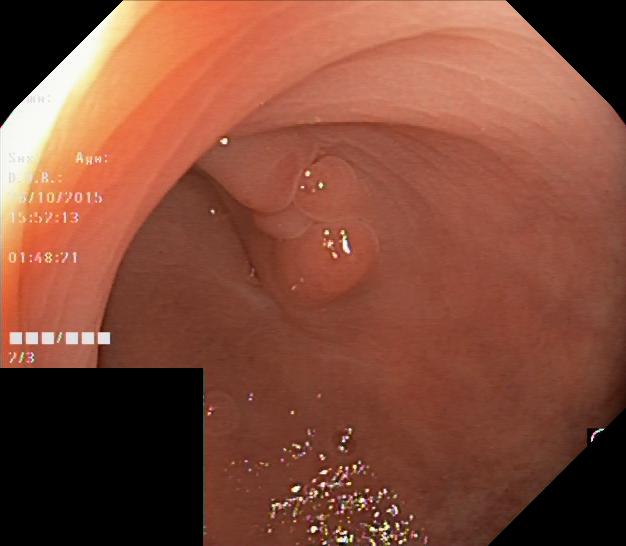modality: colonoscopy
category: pathological finding
finding: colorectal polyp(s)